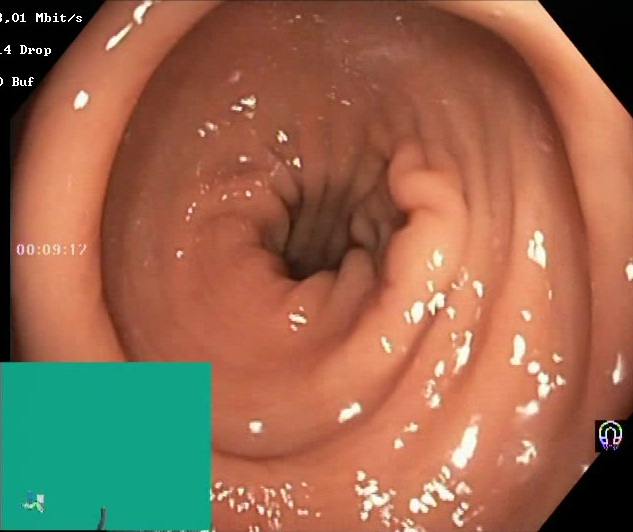Lower-GI endoscopy — Boston Bowel Preparation Scale score 2–3 (adequate preparation).